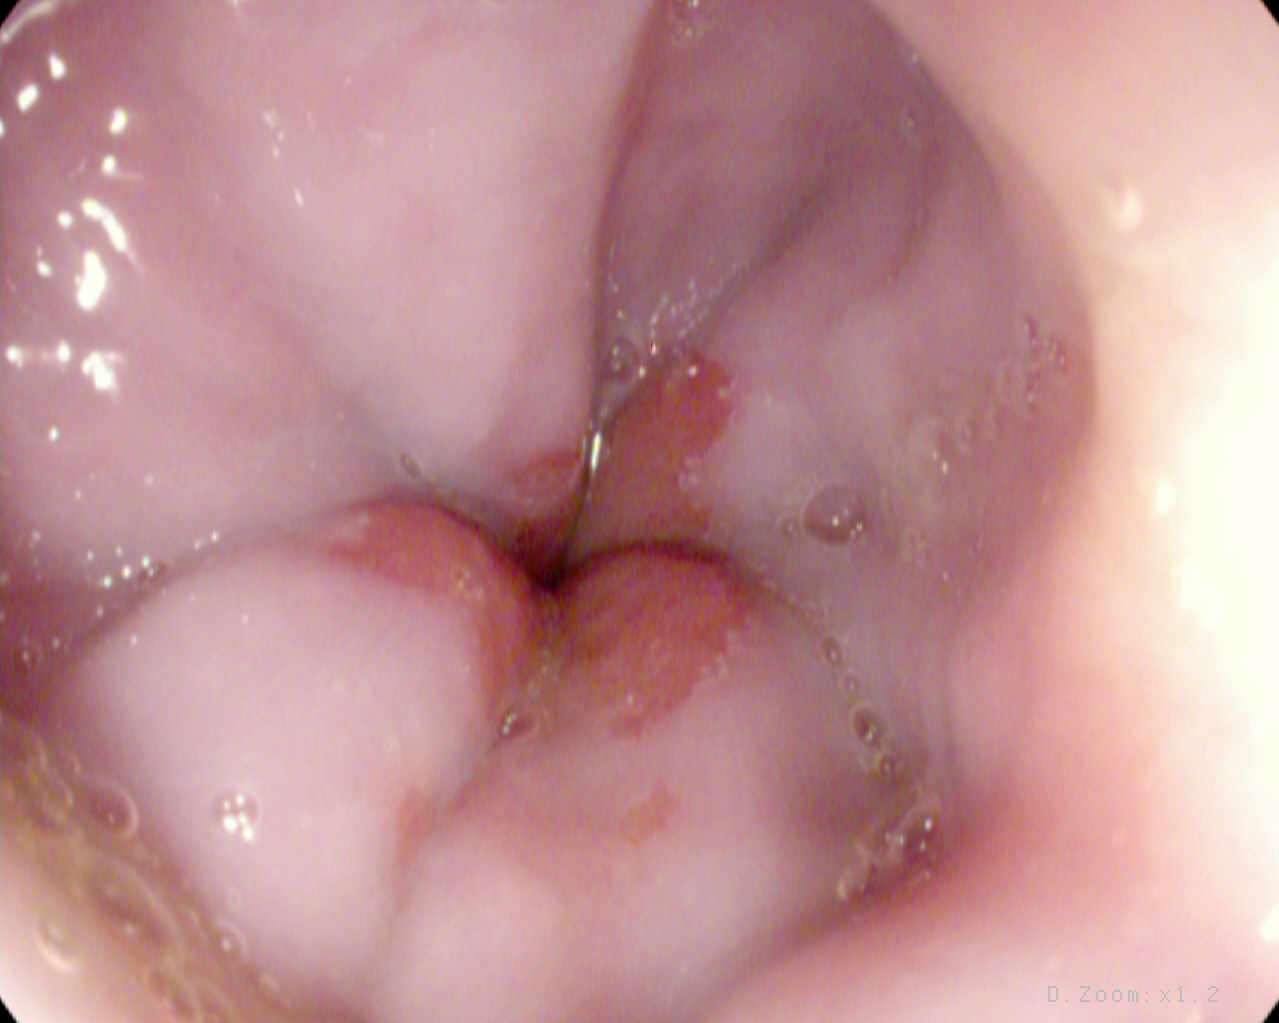Gastroscopy. Finding: Z-line (gastroesophageal junction).